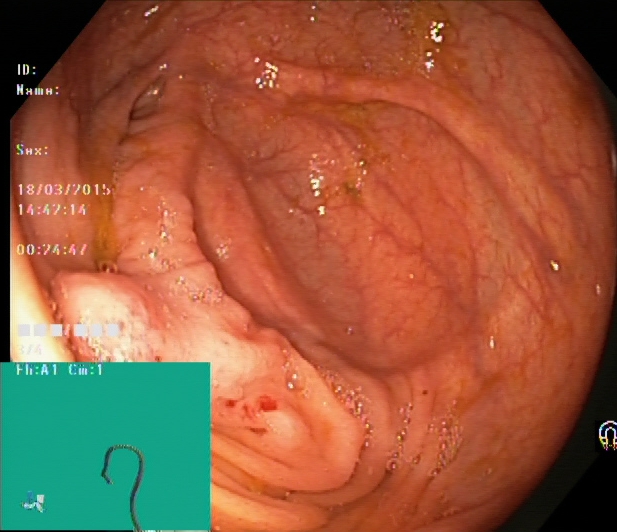Lower-GI endoscopy. Tract: lower GI tract. Finding: cecum.